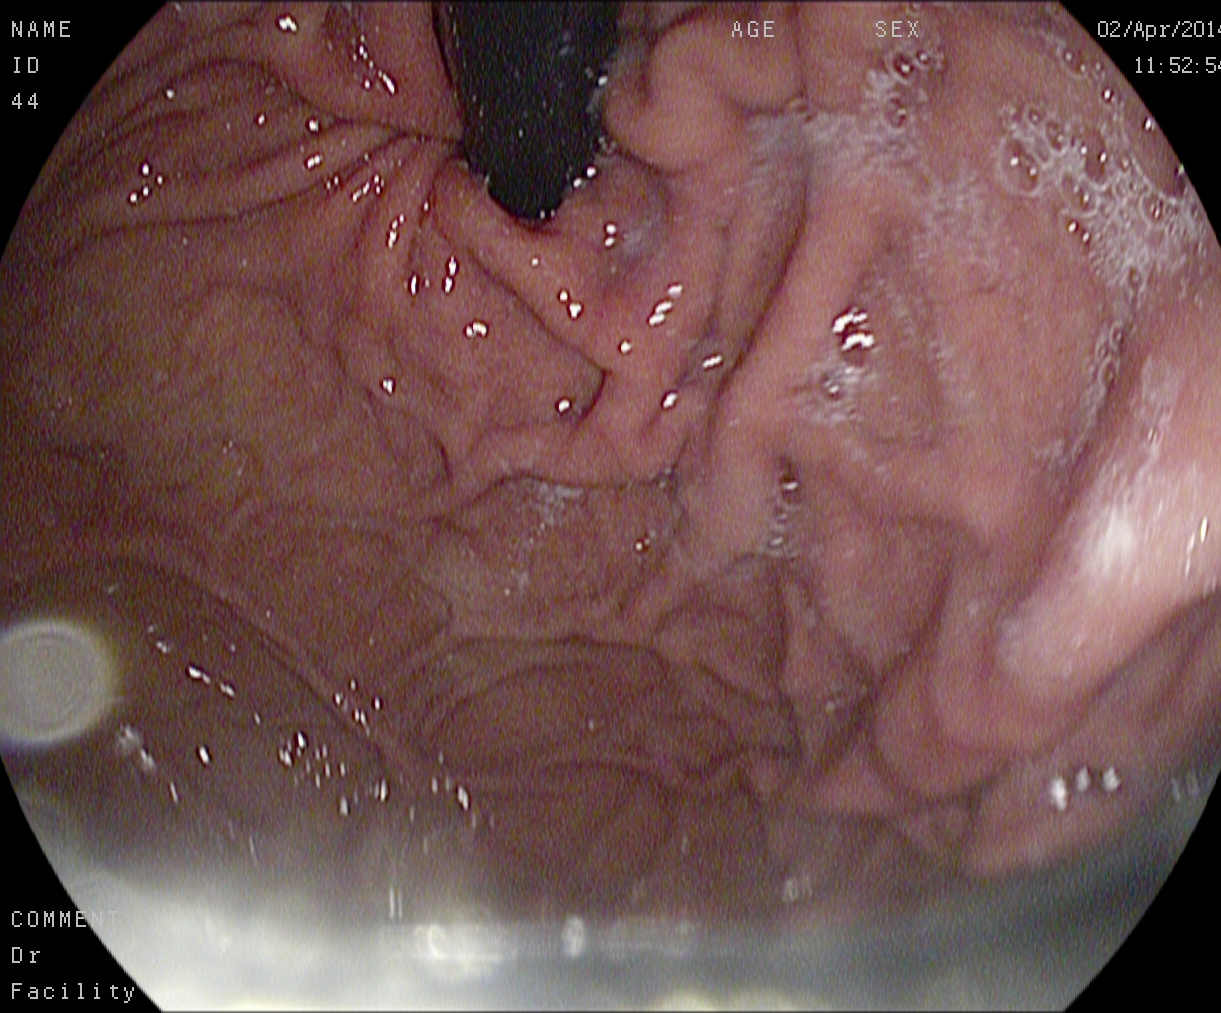{"modality": "esophagogastroduodenoscopy", "tract": "upper GI tract", "category": "anatomical landmark", "finding": "stomach in retroflexion"}